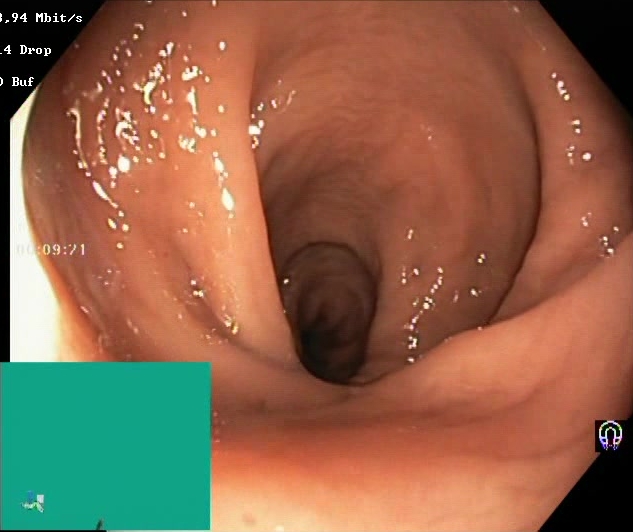Colonoscopy image showing Boston Bowel Preparation Scale score 2–3 (adequate preparation).